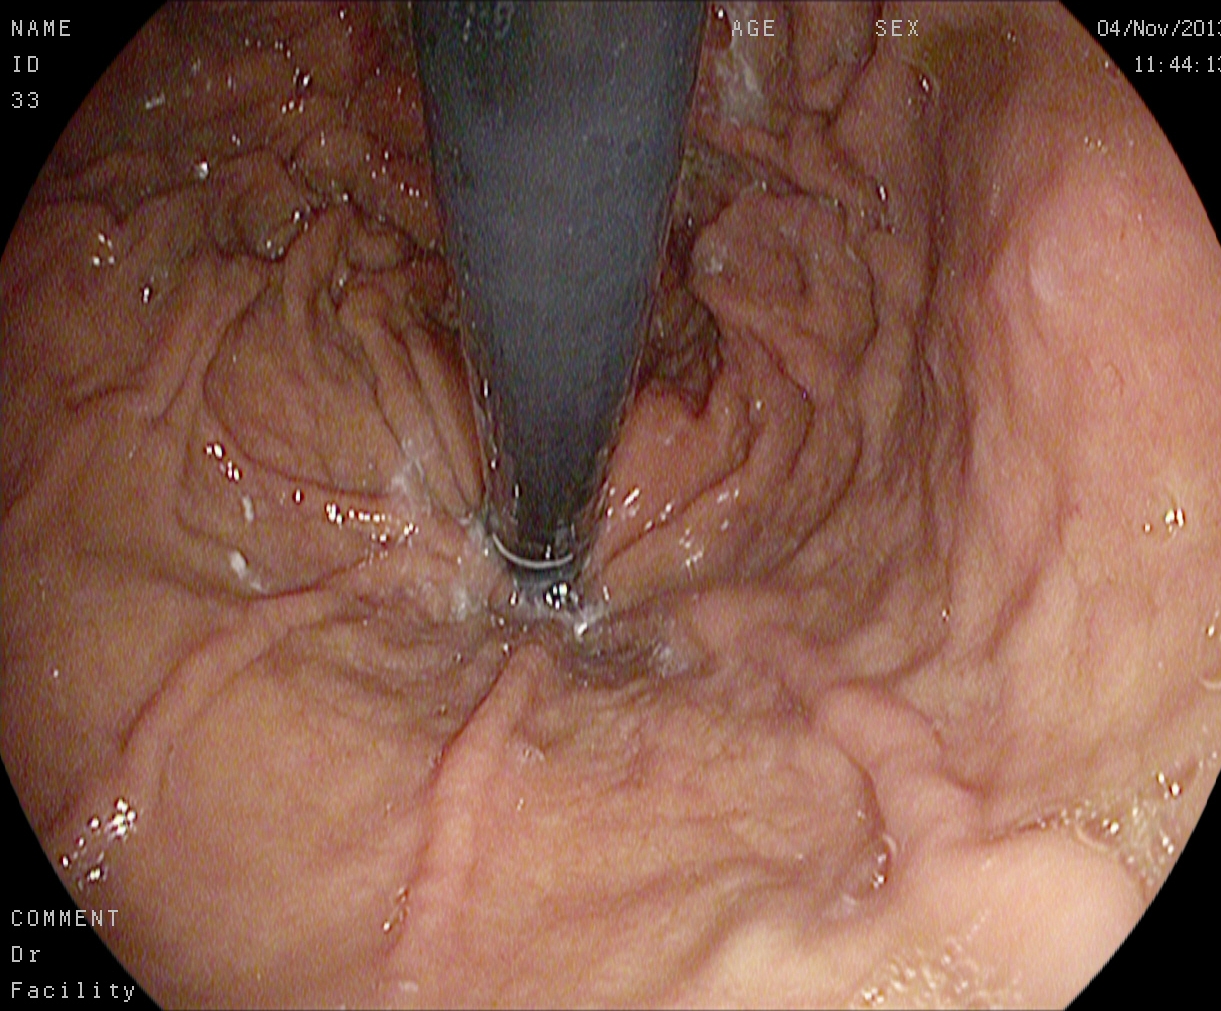PROCEDURE: Gastroscopy.
FINDINGS: Stomach in retroflexion.